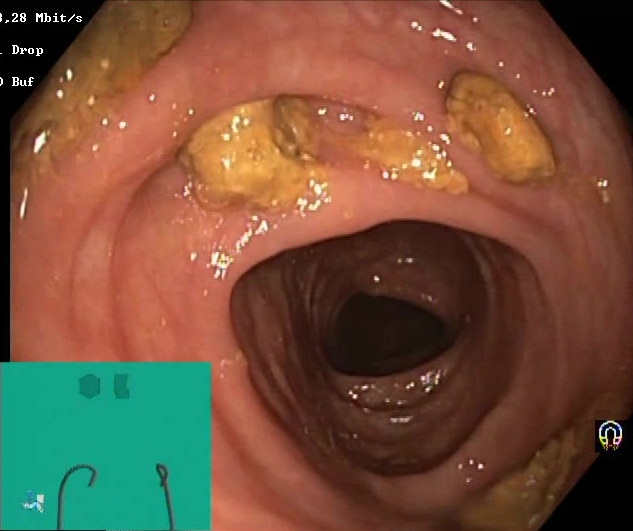PROCEDURE: Lower gastrointestinal endoscopy.
FINDINGS: Impacted stool.